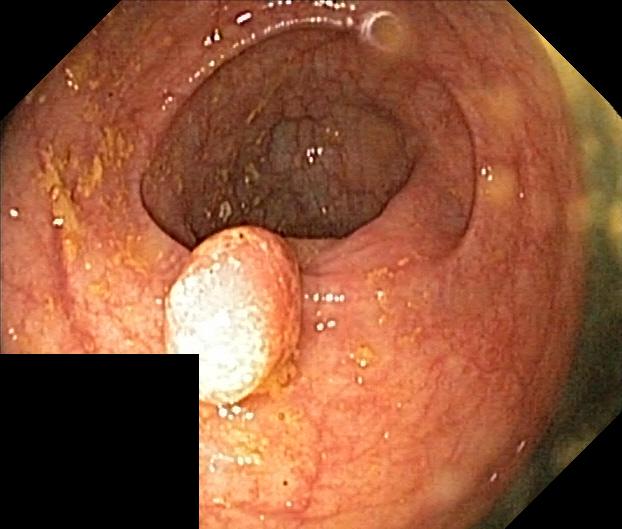Colorectal polyp(s).